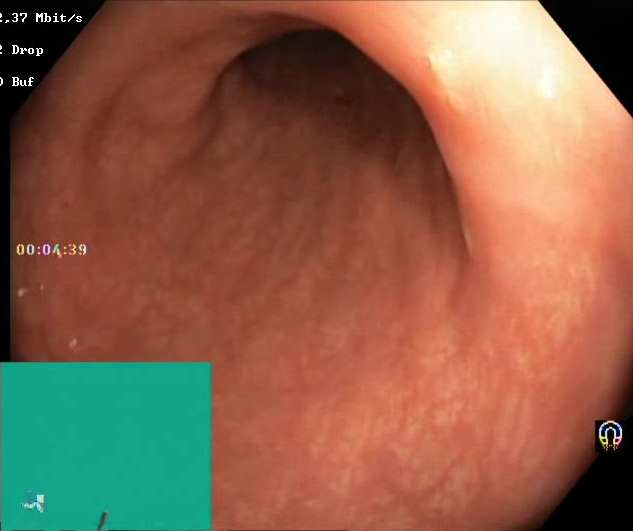This endoscopic image of the lower GI tract shows Boston Bowel Preparation Scale score 2–3 (adequate preparation).